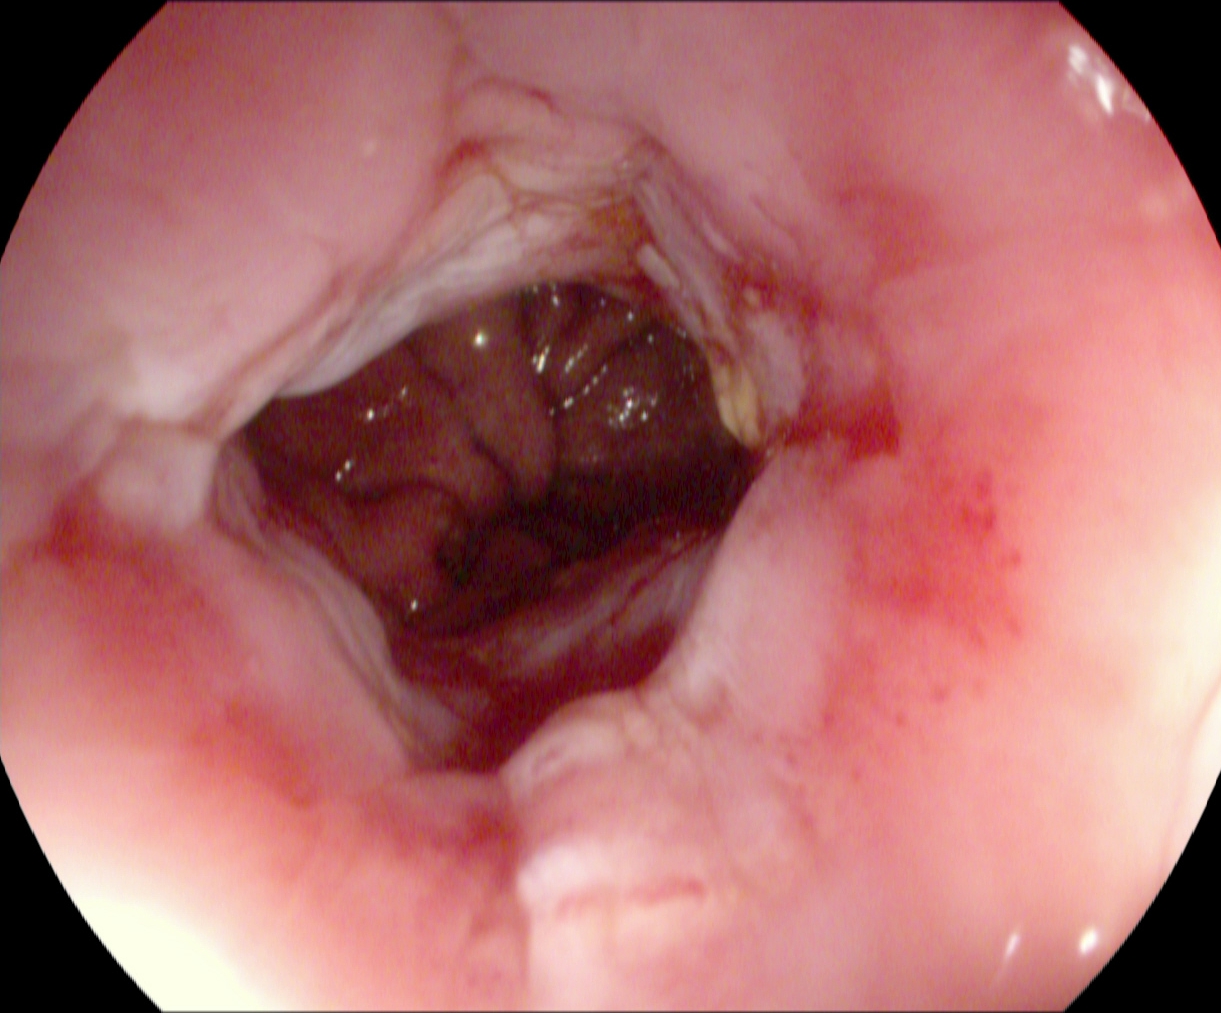Esophagogastroduodenoscopy image of the upper GI tract showing reflux esophagitis, LA grade B–D.